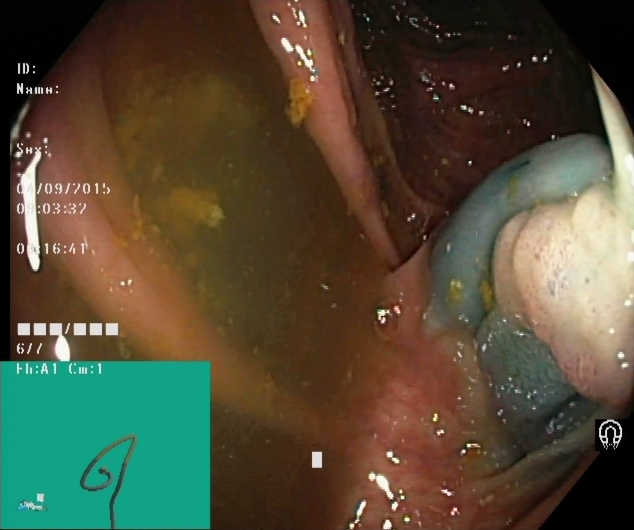{"modality": "lower-GI endoscopy", "tract": "lower GI tract", "finding": "dyed and lifted polyp (pre-resection)"}